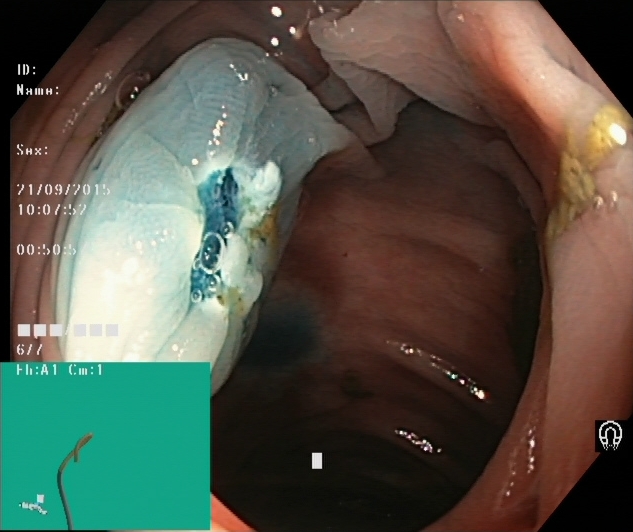Colonoscopy. Therapeutic intervention. Finding: dyed resection margins (post-polypectomy).